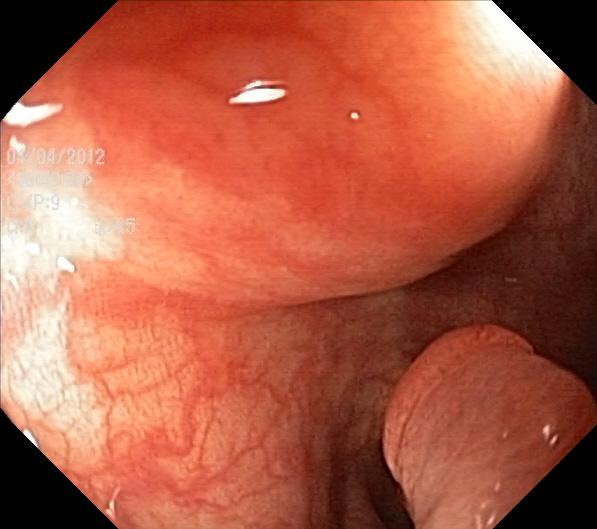PROCEDURE: Lower gastrointestinal endoscopy.
FINDINGS: Colorectal polyp(s).